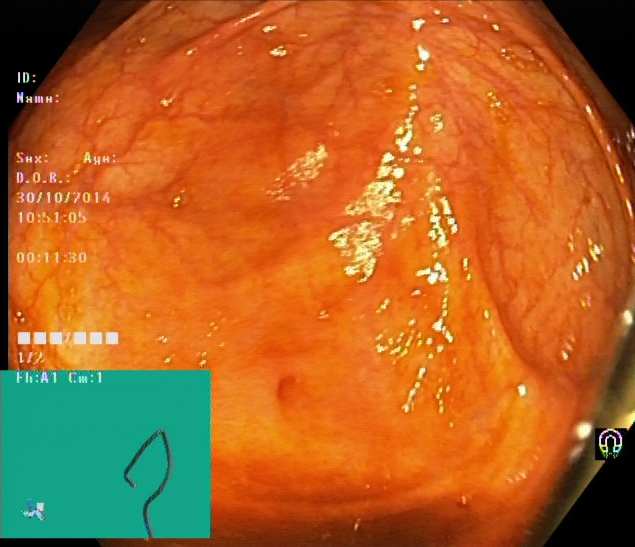PROCEDURE: Lower gastrointestinal endoscopy.
CATEGORY: Anatomical landmark.
FINDINGS: Cecum.